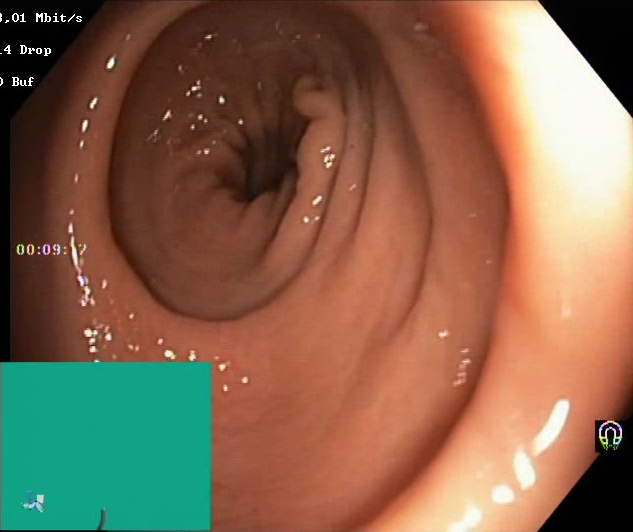modality: lower-GI endoscopy
category: mucosal-view quality
finding: BBPS score 2–3 (adequate preparation)